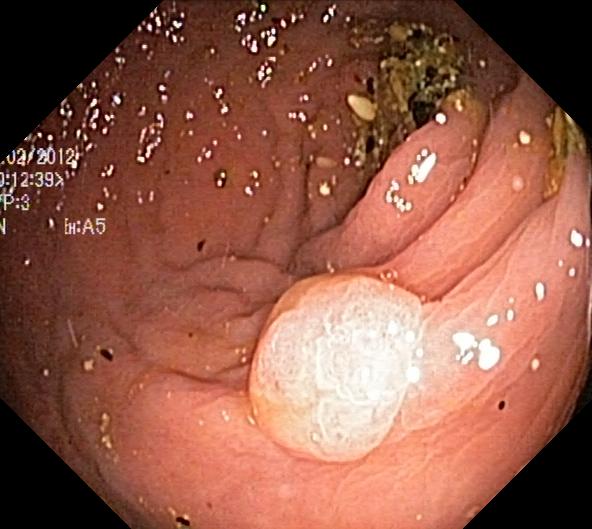PROCEDURE: Colonoscopy.
FINDINGS: Colorectal polyp(s).